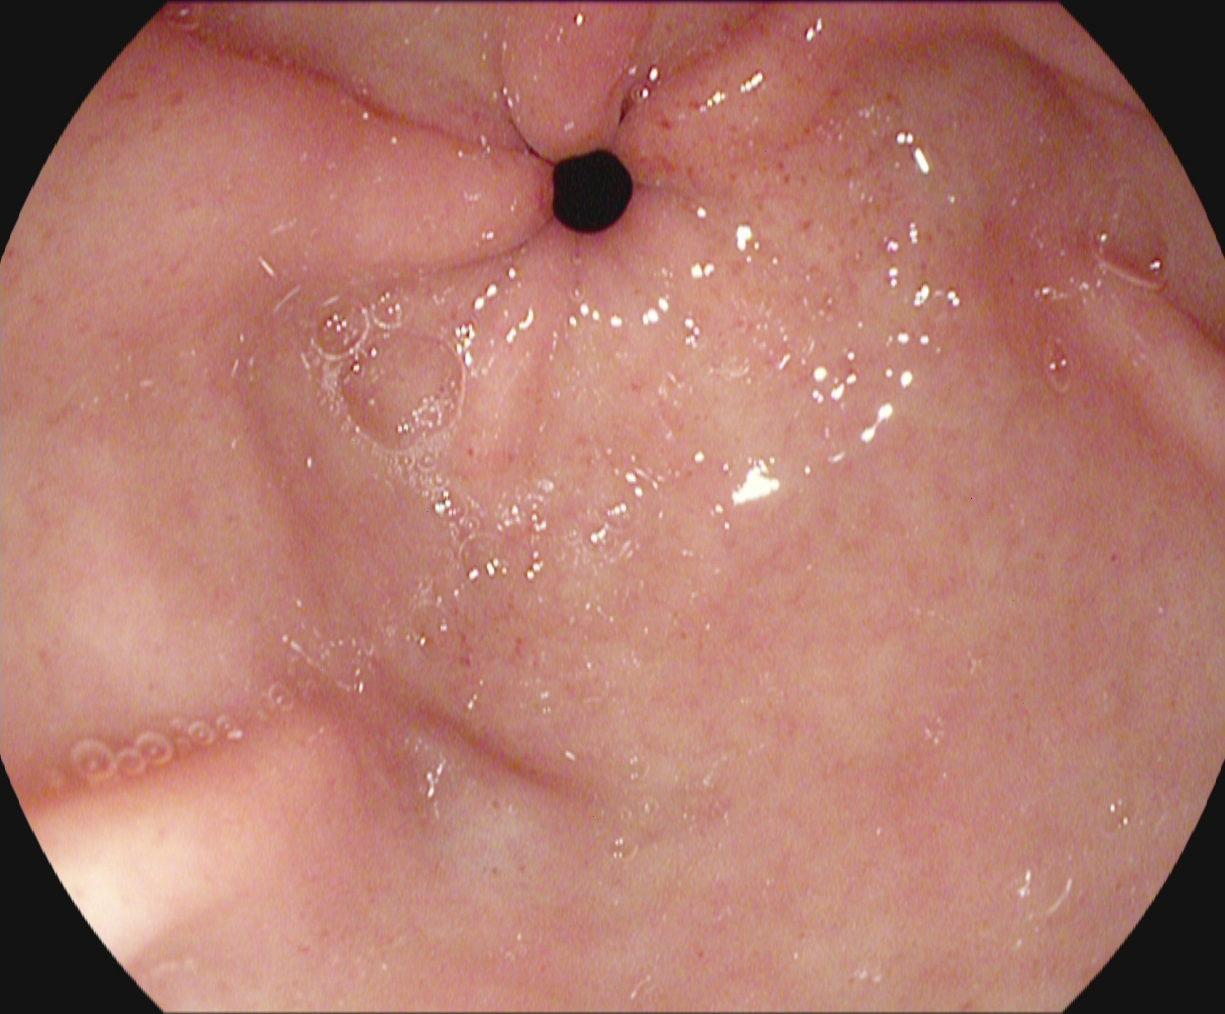{"modality": "EGD", "tract": "upper GI tract", "finding": "pylorus"}